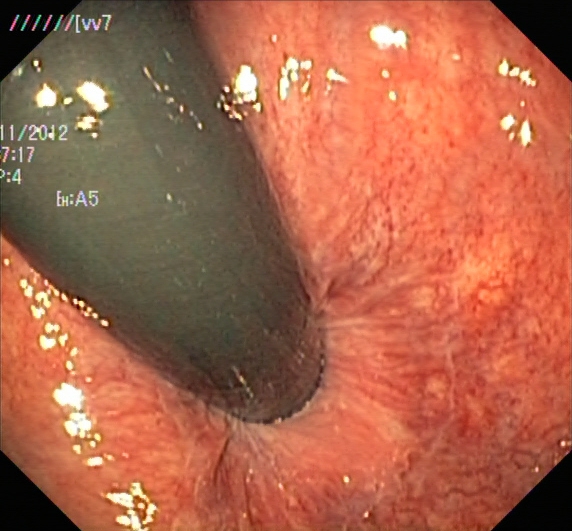Lower gastrointestinal endoscopy. Anatomical landmark. Finding: rectum in retroflexion.